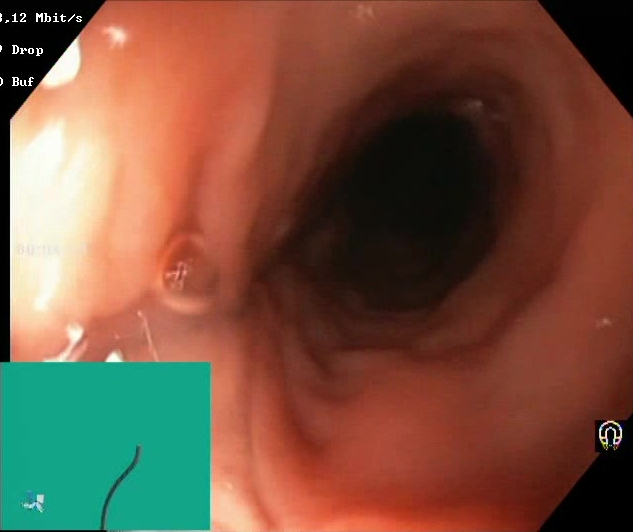This endoscopy frame shows Boston Bowel Preparation Scale score 2–3 (adequate preparation).